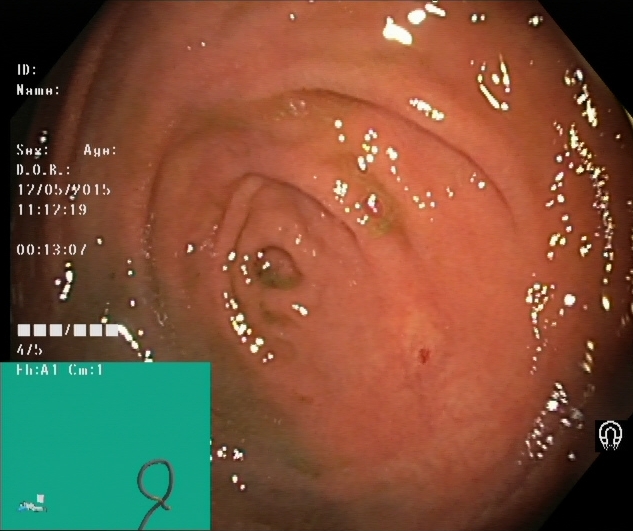Cecum.